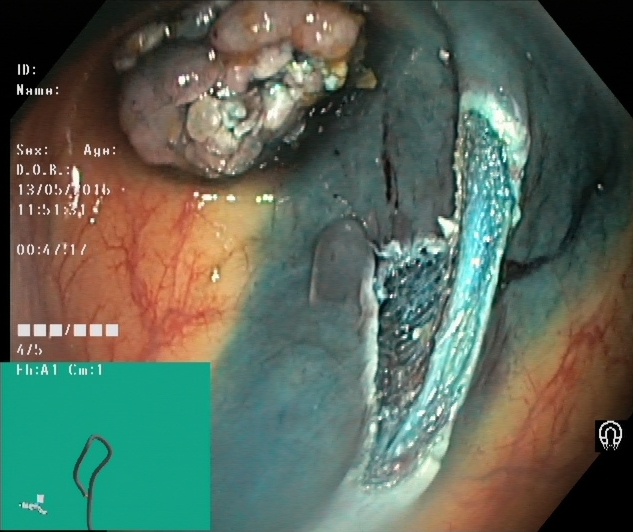modality: lower gastrointestinal endoscopy
tract: lower GI tract
finding: dyed resection margins (post-polypectomy)